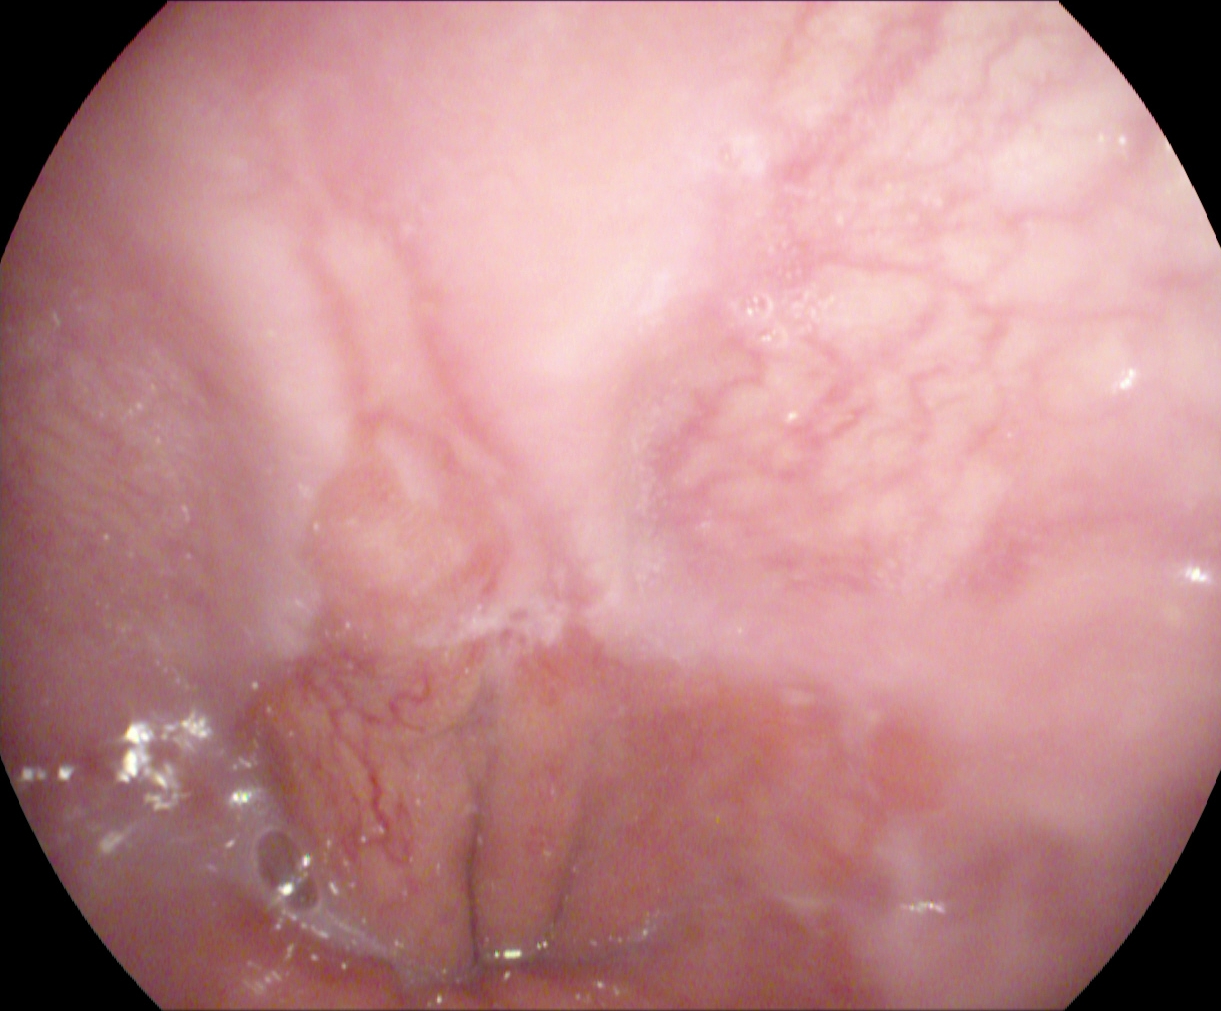PROCEDURE: EGD.
FINDINGS: Reflux esophagitis, Los Angeles grade B–D.